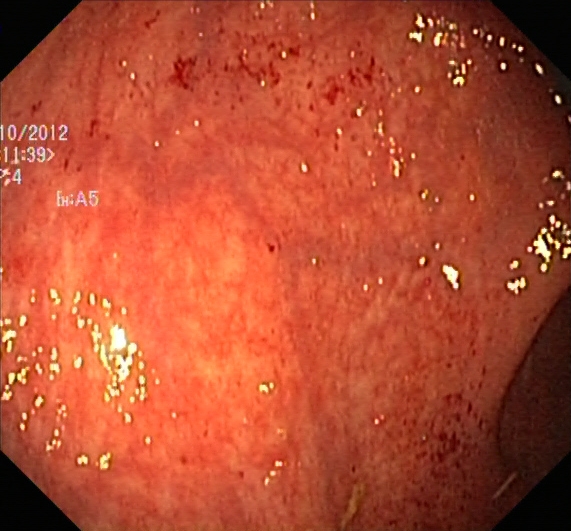This endoscopy frame shows ulcerative colitis, Mayo endoscopic subscore 1.